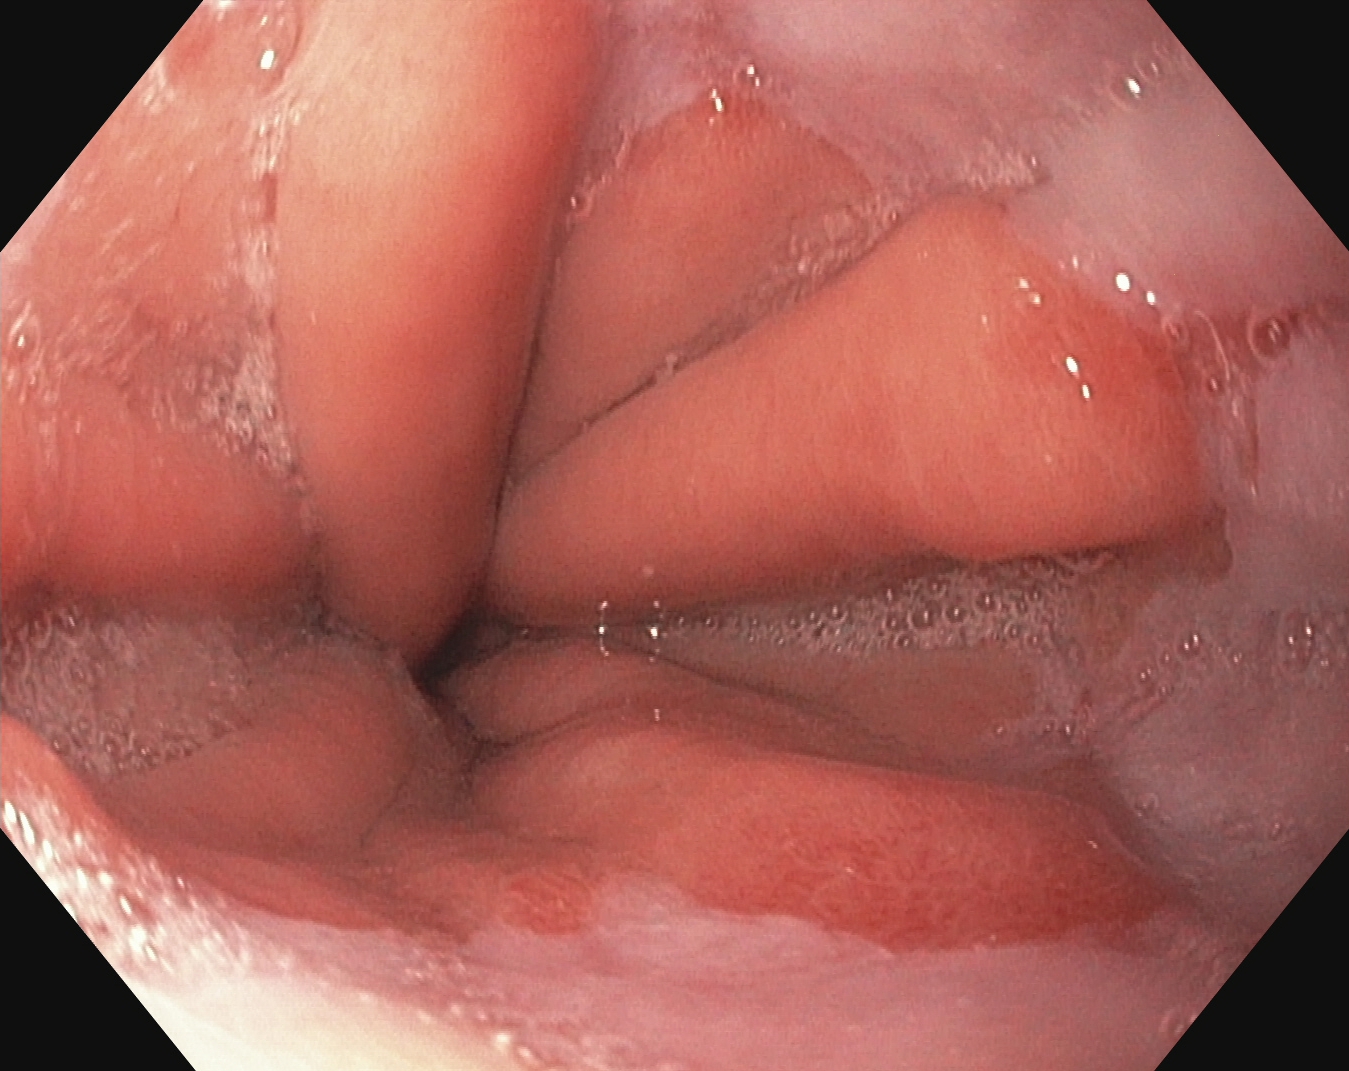{"modality": "esophagogastroduodenoscopy", "category": "pathological finding", "finding": "reflux esophagitis, Los Angeles grade A"}